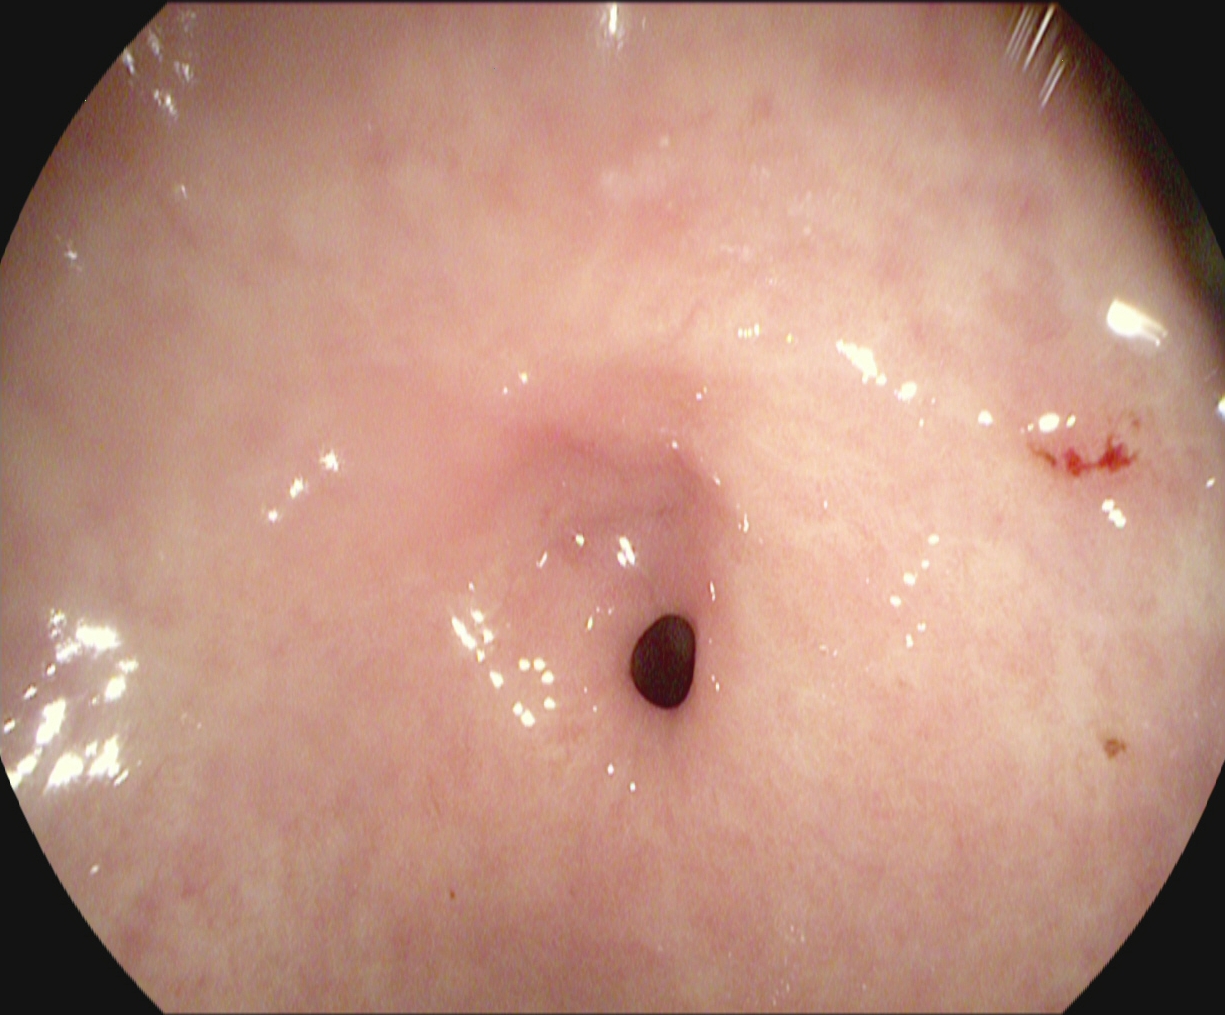Pylorus.